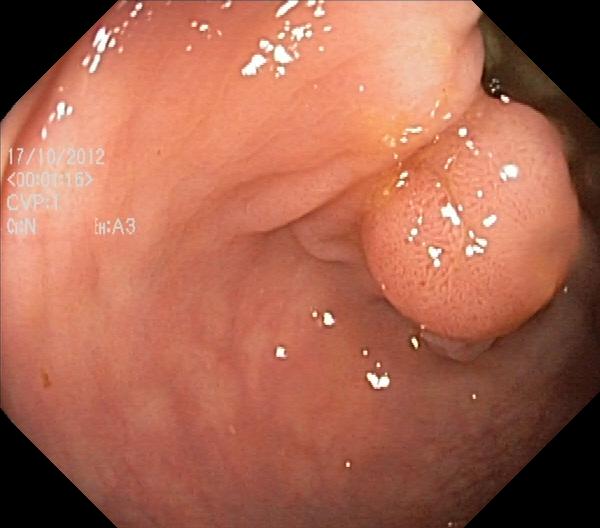modality: lower gastrointestinal endoscopy
tract: lower GI tract
category: pathological finding
finding: colorectal polyp(s)